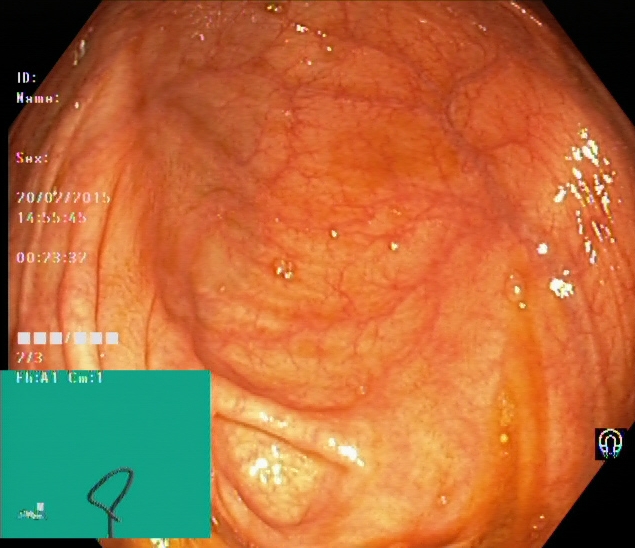GI endoscopy image showing cecum.